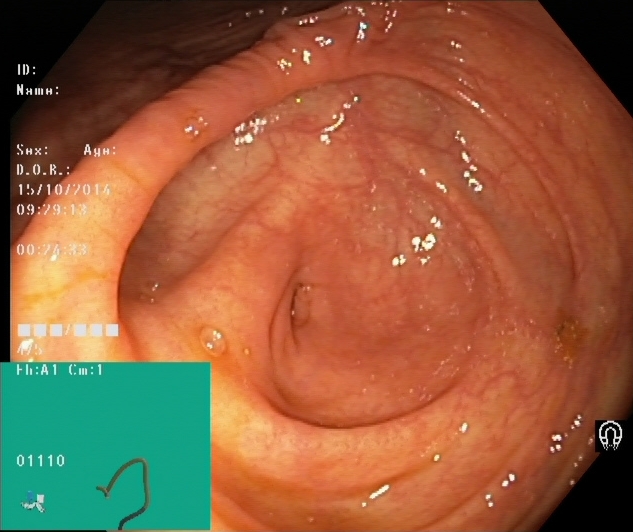Colonoscopy. Tract: lower GI tract. Finding: cecum.